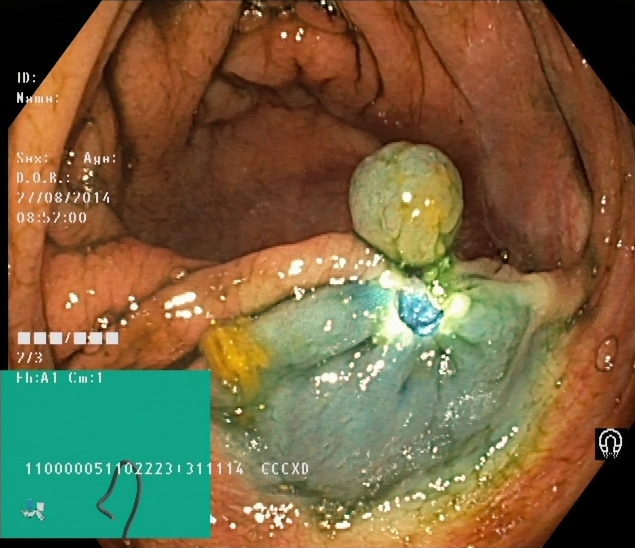{"modality": "colonoscopy", "tract": "lower GI tract", "finding": "dyed and lifted polyp (pre-resection)"}